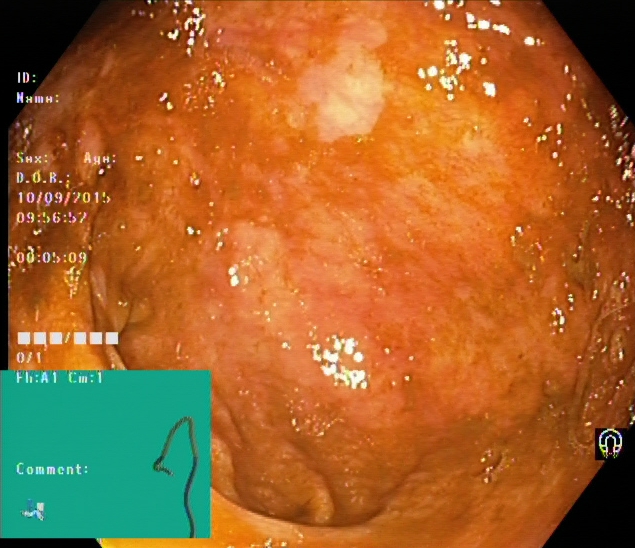modality: colonoscopy | tract: lower GI tract | finding: cecum